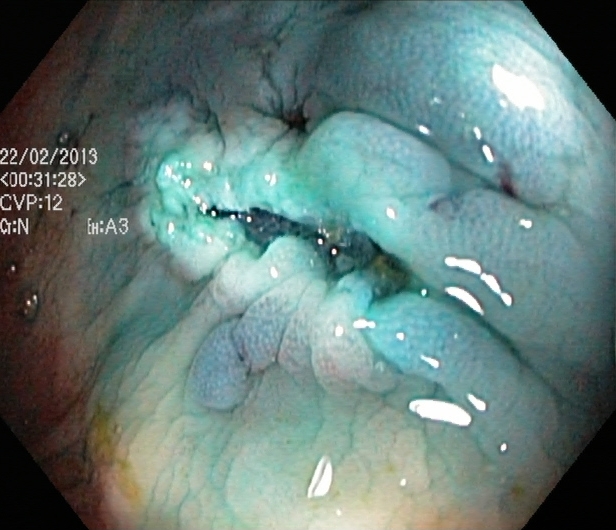Dyed resection margins (post-polypectomy).